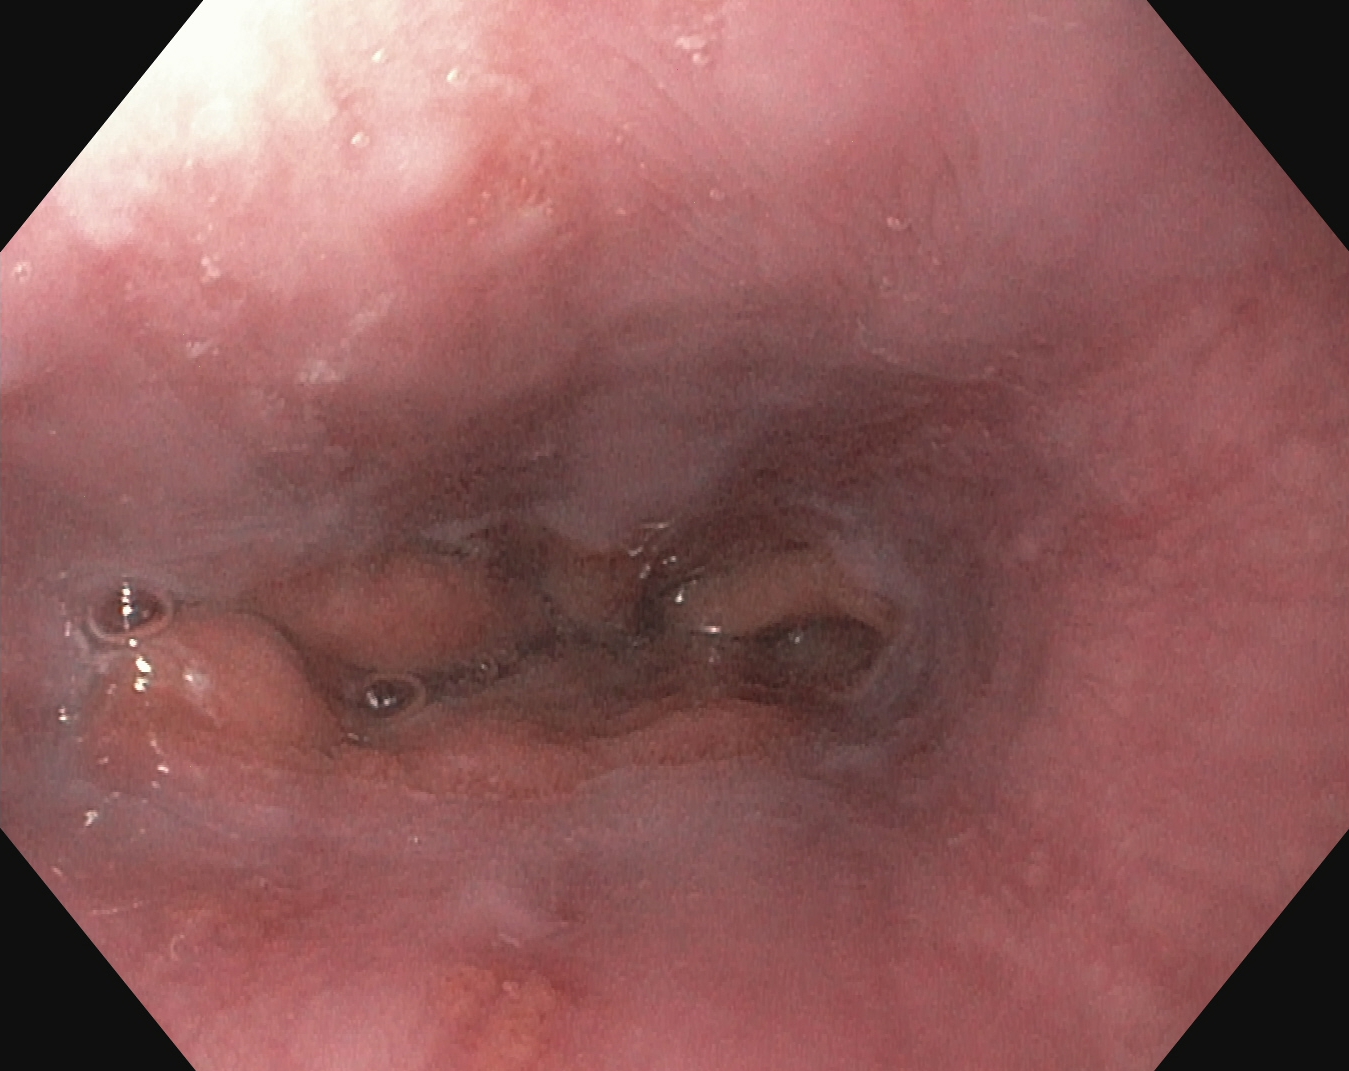Upper-GI endoscopy. Finding: Z-line (gastroesophageal junction).